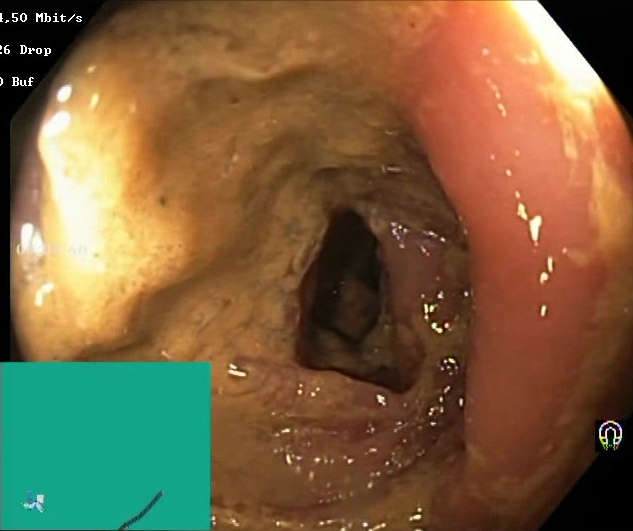PROCEDURE: Lower gastrointestinal endoscopy.
CATEGORY: Mucosal-view quality.
FINDINGS: BBPS score 0–1 (inadequate preparation).